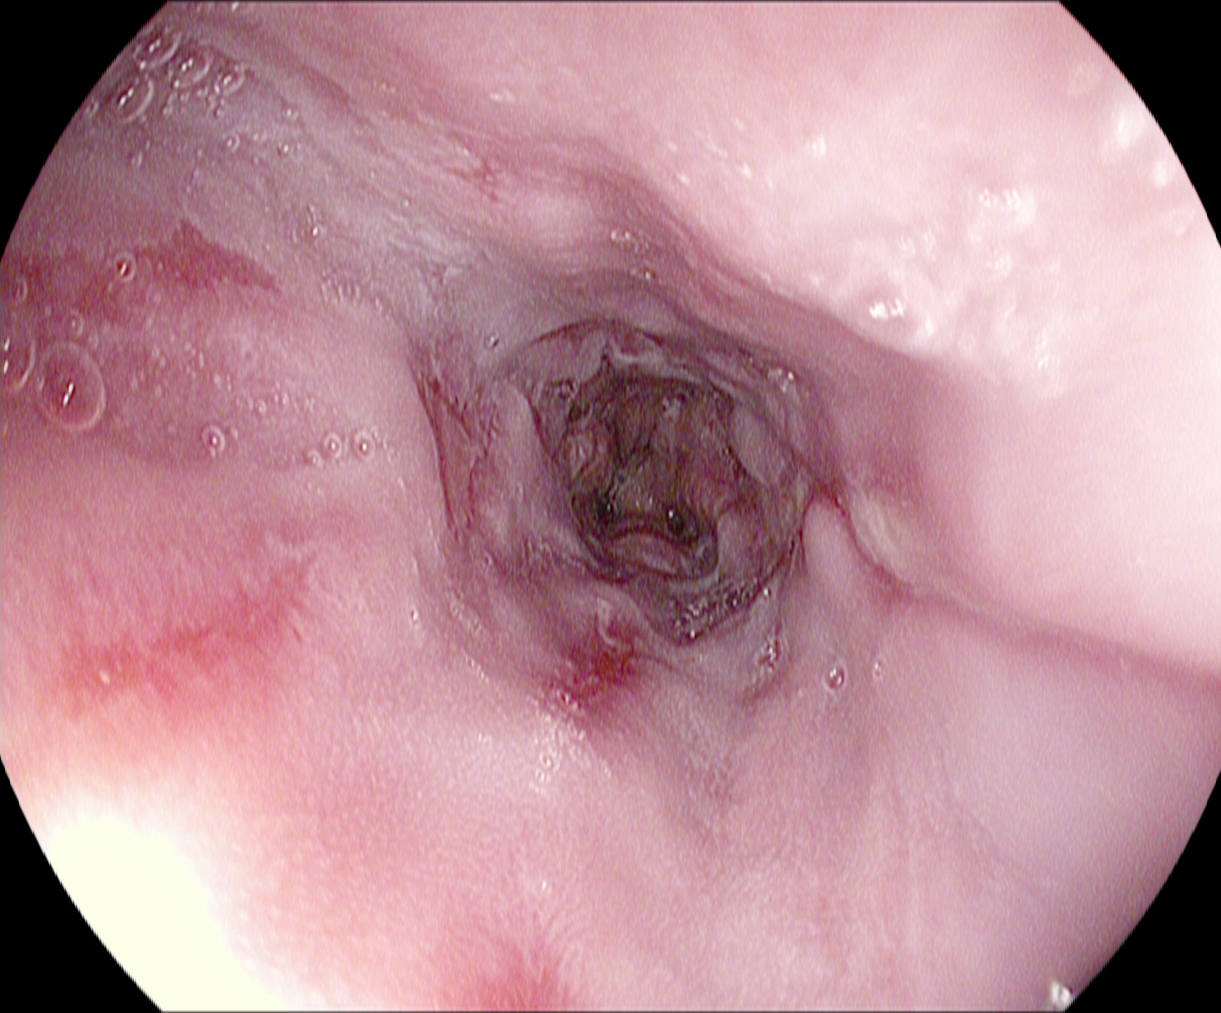Reflux esophagitis, Los Angeles grade A.